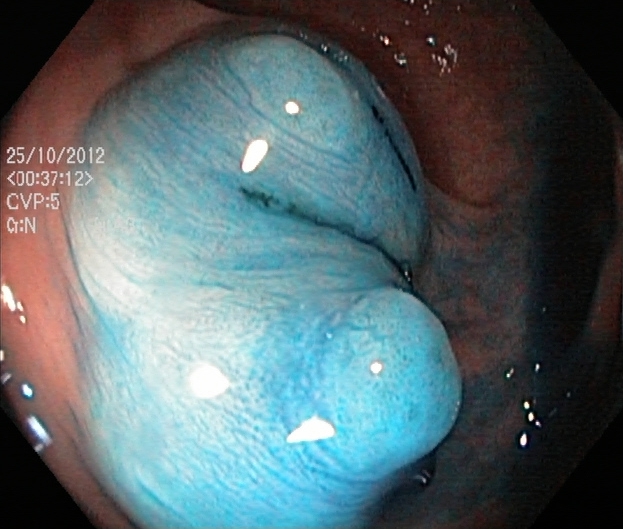Lower gastrointestinal endoscopy. Tract: lower GI tract. Finding: dyed and lifted polyp (pre-resection).